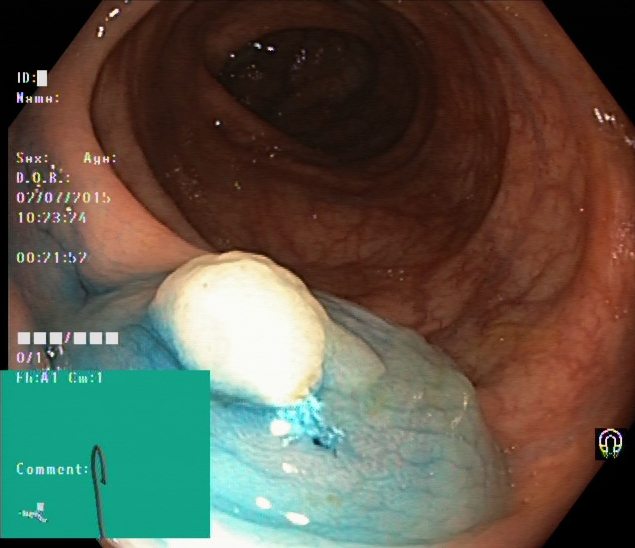Dyed and lifted polyp (pre-resection).